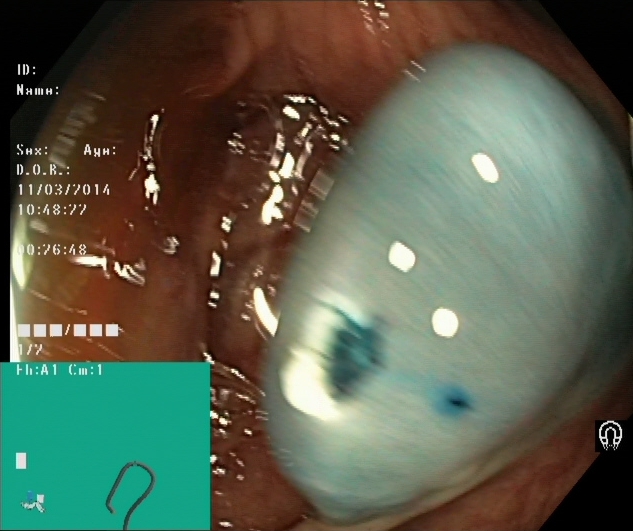This endoscopic image shows dyed resection margins (post-polypectomy).